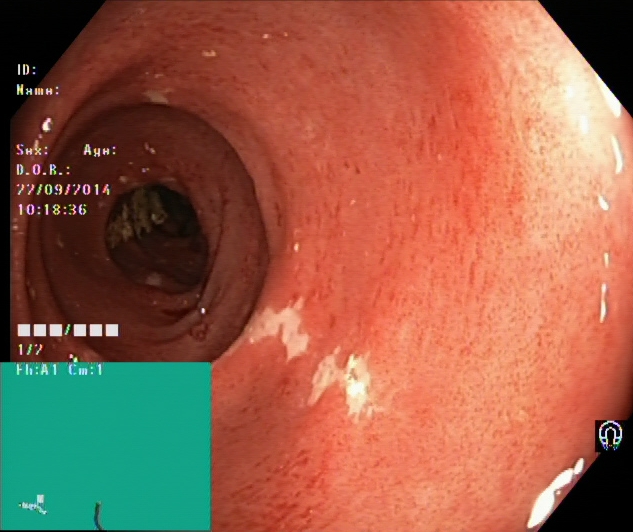PROCEDURE: Colonoscopy.
CATEGORY: Pathological finding.
FINDINGS: Ulcerative colitis, Mayo endoscopic subscore 2.